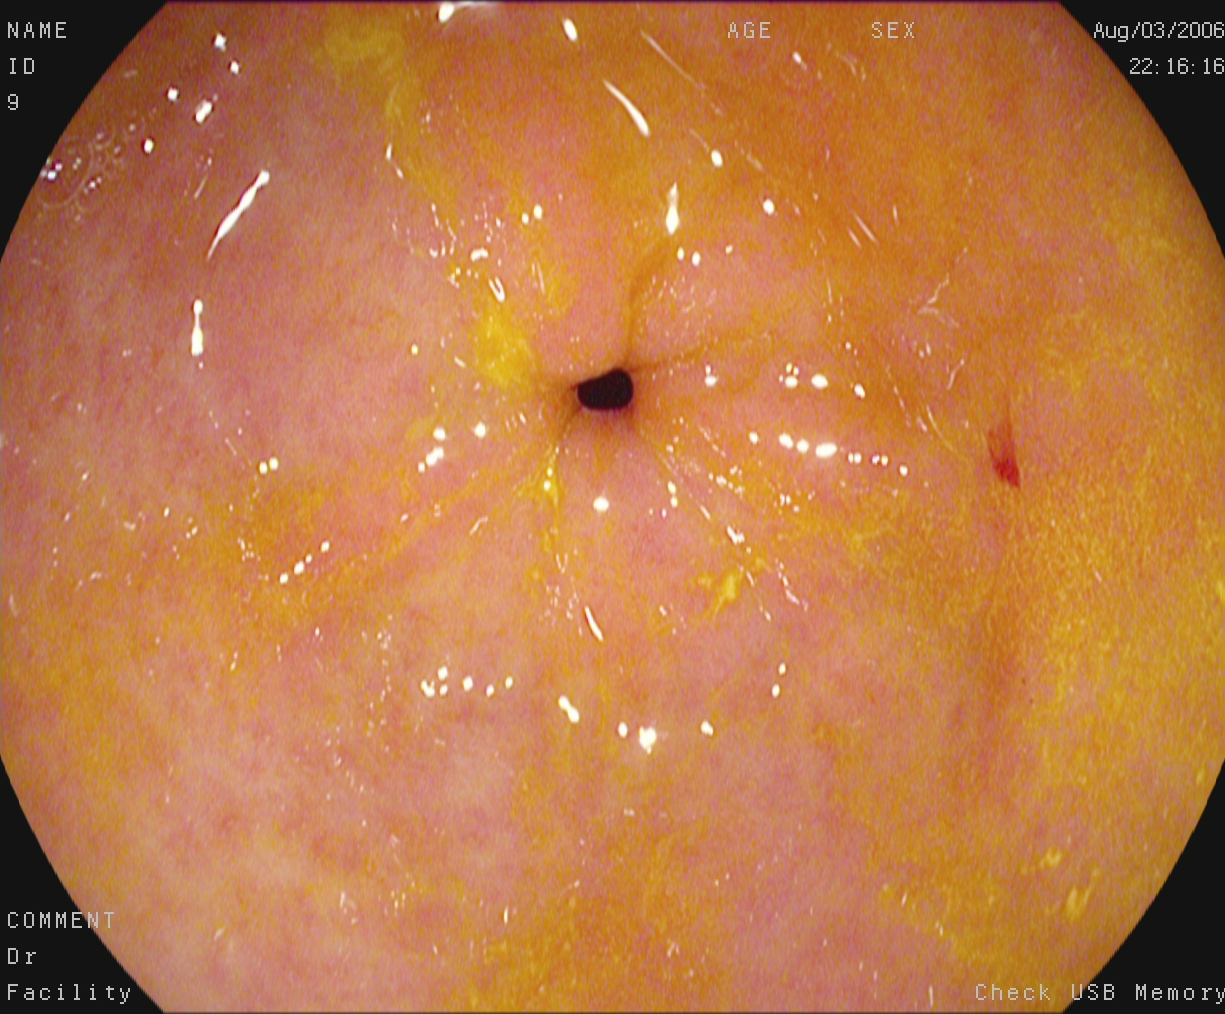Upper-GI endoscopy. Finding: pylorus.